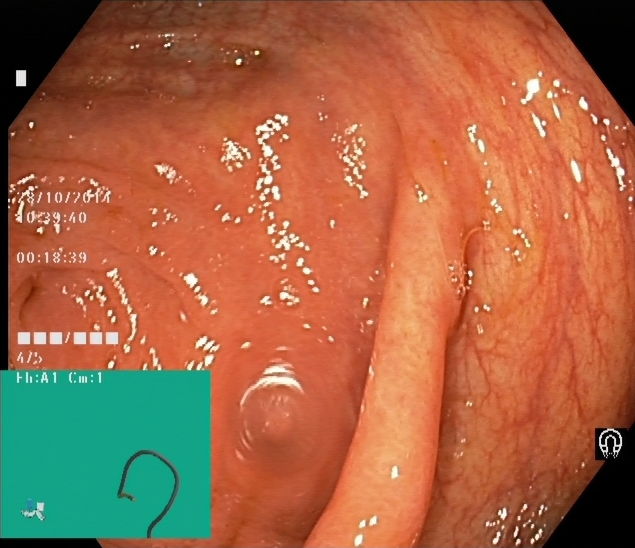PROCEDURE: Lower gastrointestinal endoscopy.
CATEGORY: Anatomical landmark.
FINDINGS: Cecum.